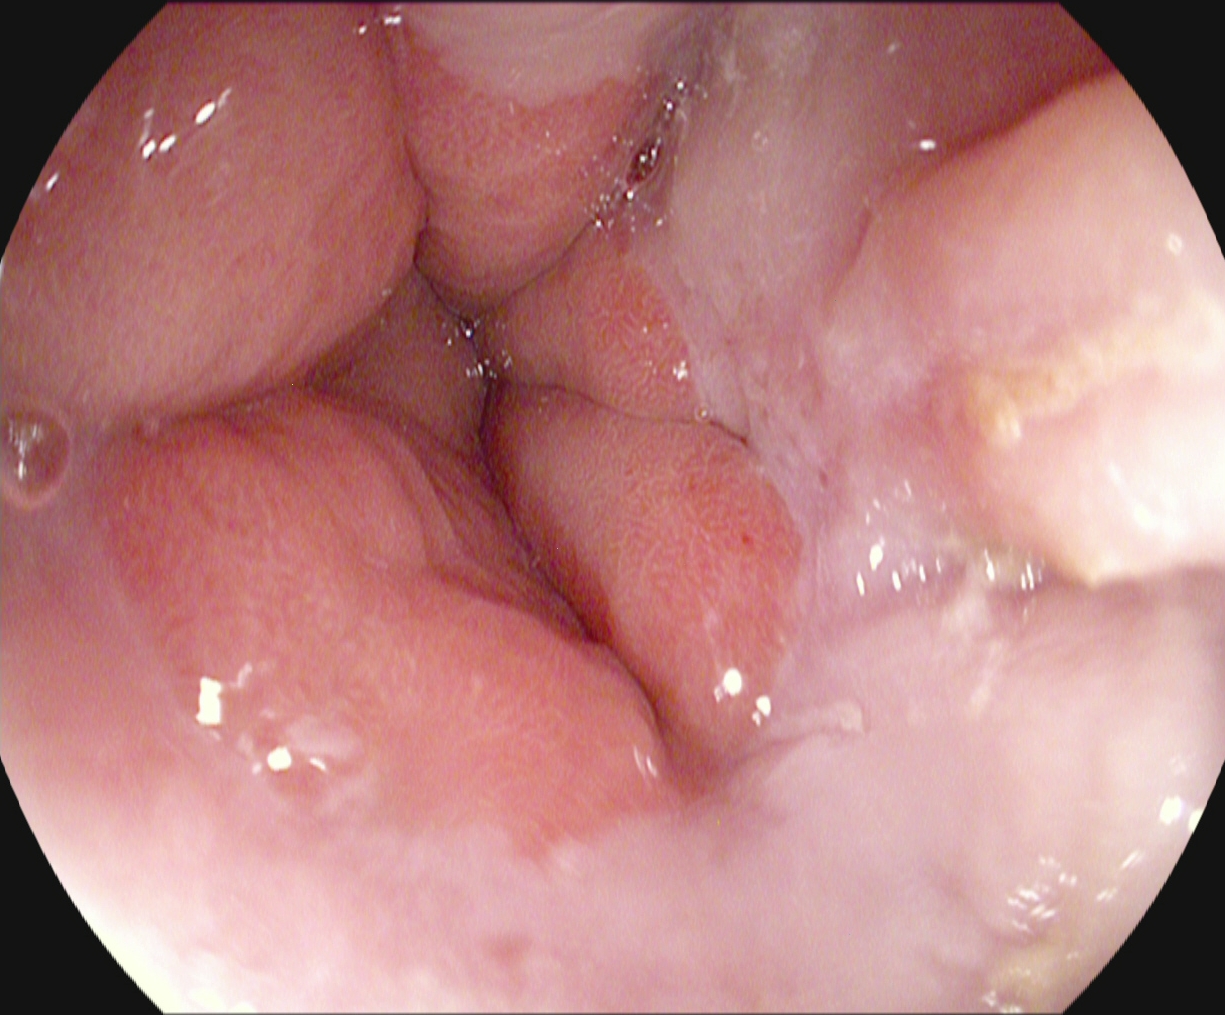PROCEDURE: Upper-GI endoscopy.
CATEGORY: Anatomical landmark.
FINDINGS: Z-line (gastroesophageal junction).